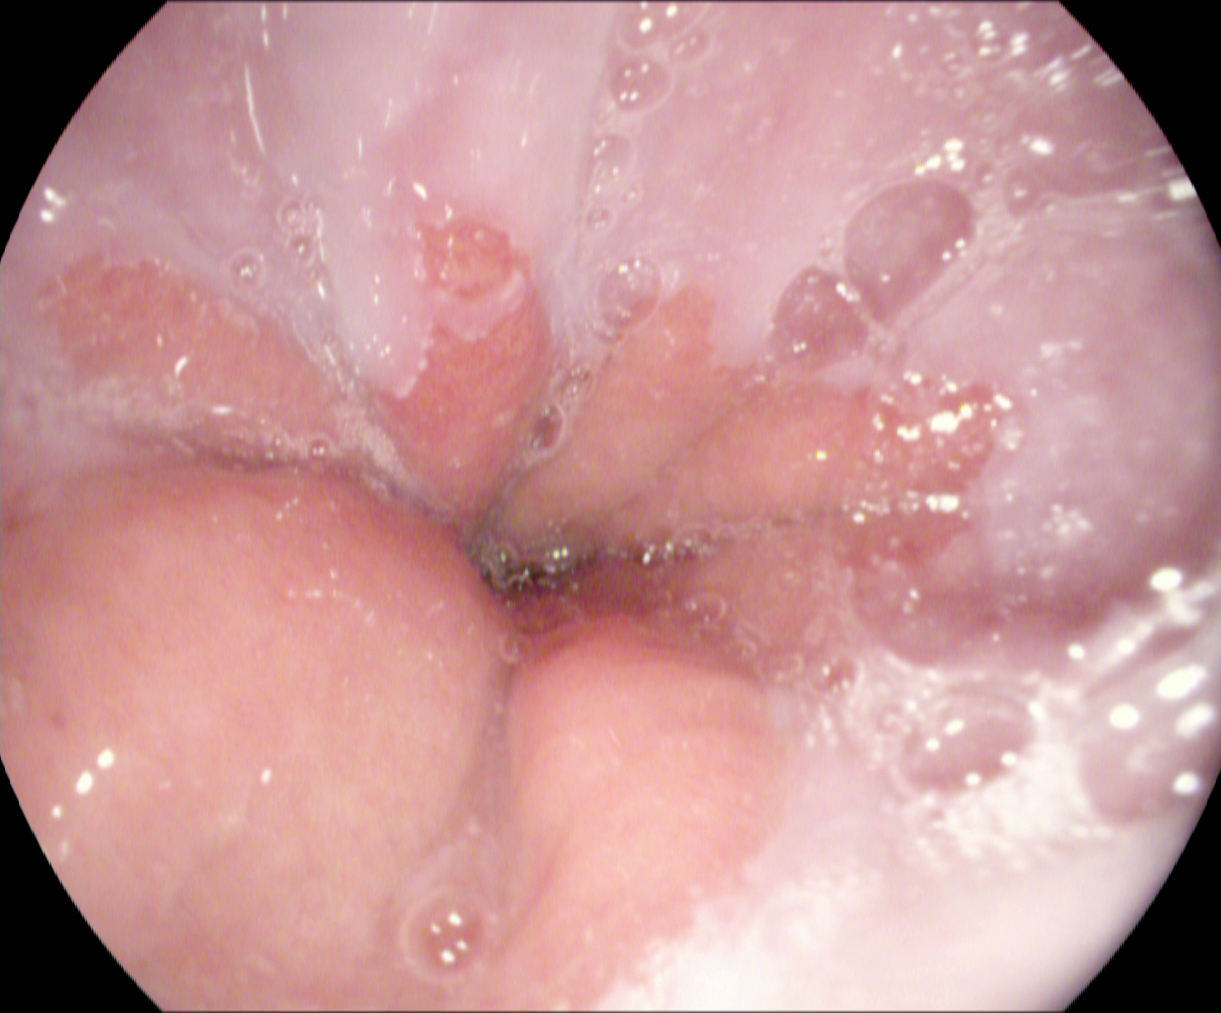This endoscopy frame of the upper GI tract shows Z-line (gastroesophageal junction).